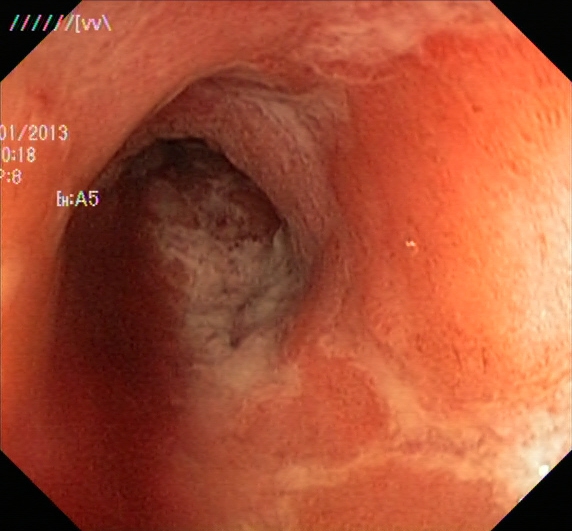Colonoscopy — ulcerative colitis, Mayo endoscopic subscore 2.